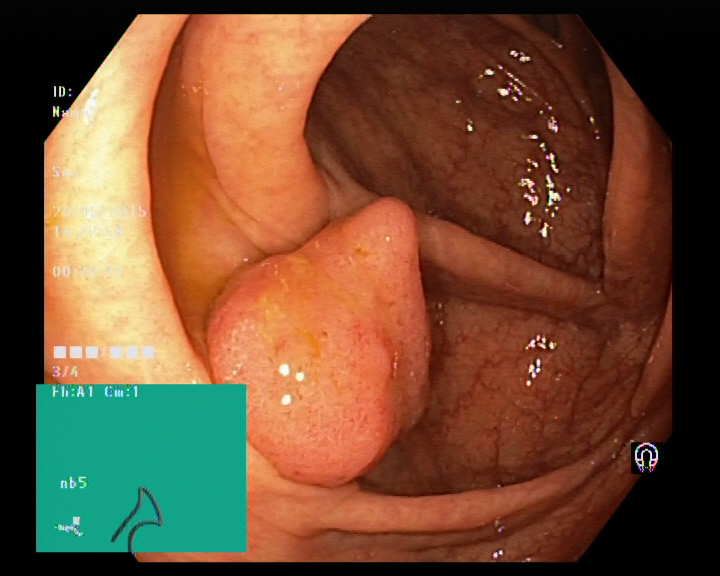{"modality": "lower-GI endoscopy", "tract": "lower GI tract", "finding": "colorectal polyp(s)"}